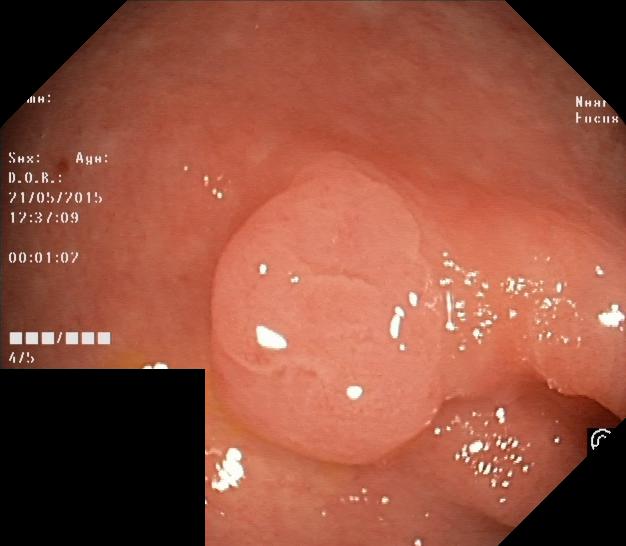This endoscopy frame shows colorectal polyp(s).